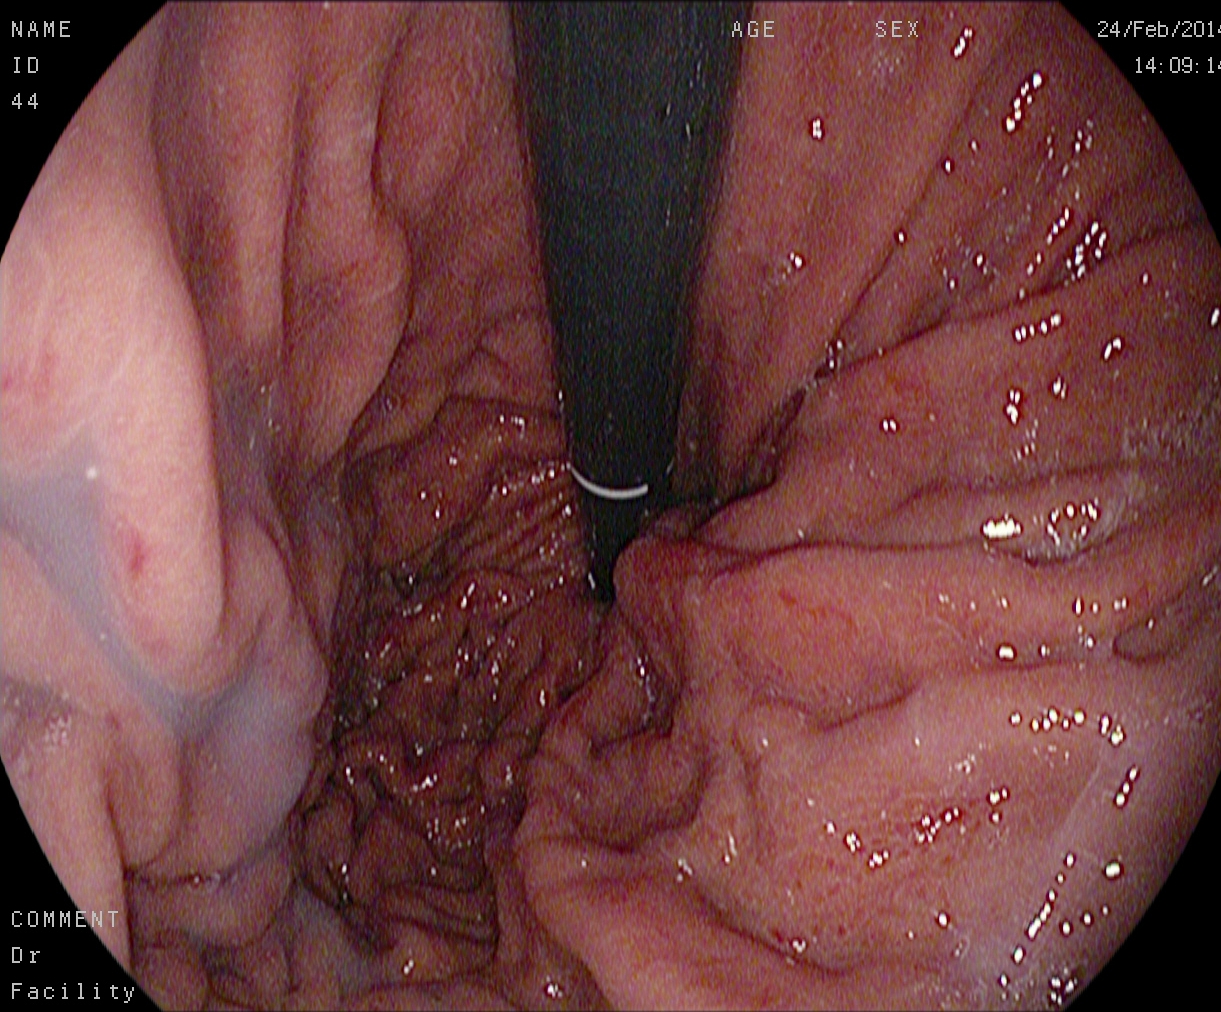This endoscopic image shows stomach in retroflexion.